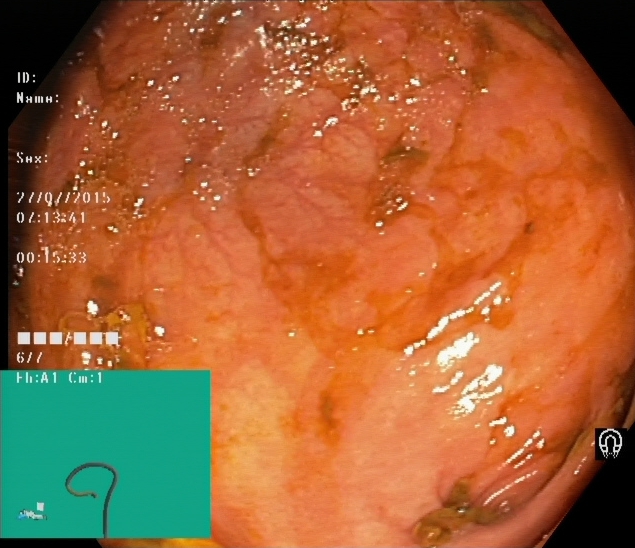GI endoscopy image of the lower GI tract showing cecum.